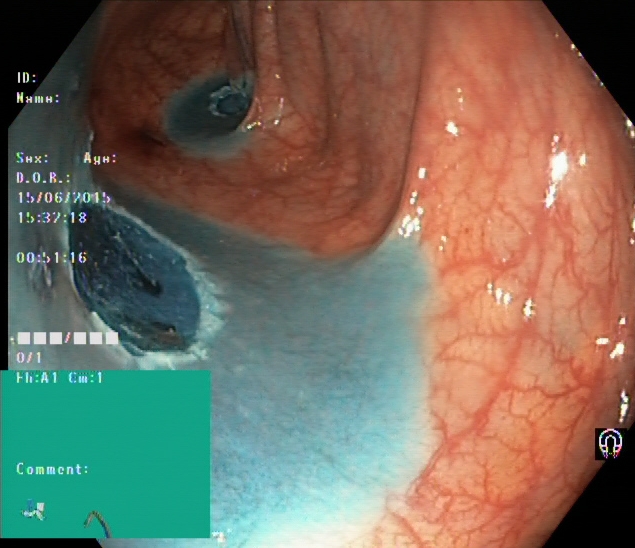This endoscopic image shows dyed resection margins (post-polypectomy).